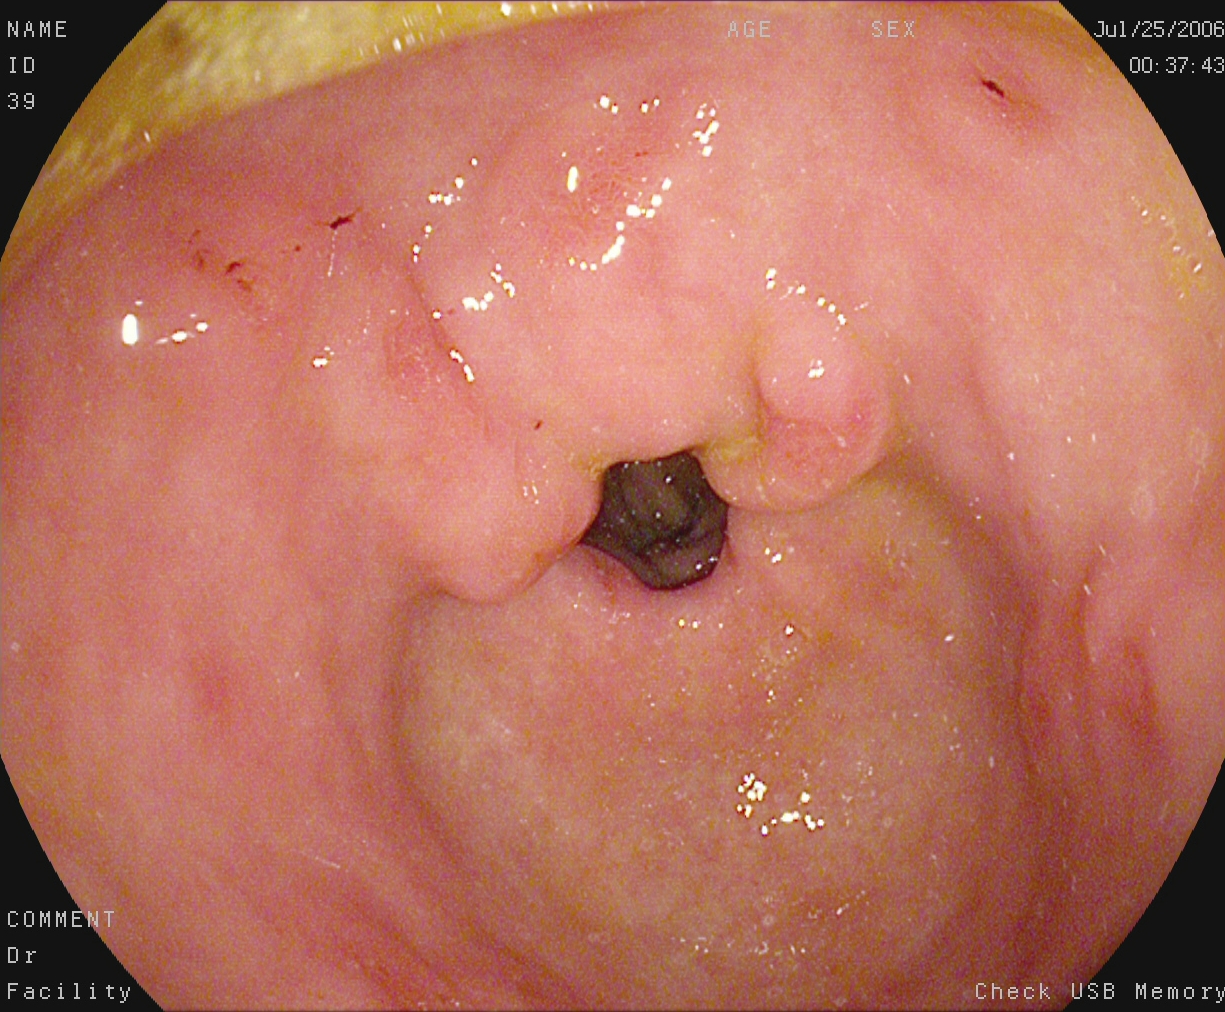EGD — pylorus.